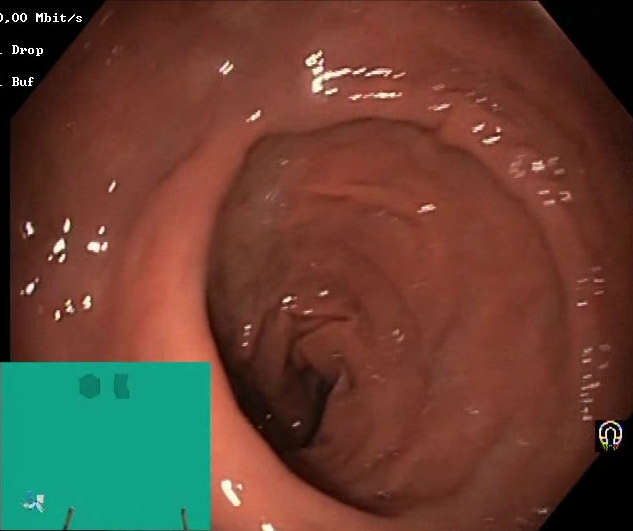Endoscopic image showing Boston Bowel Preparation Scale score 2–3 (adequate preparation).